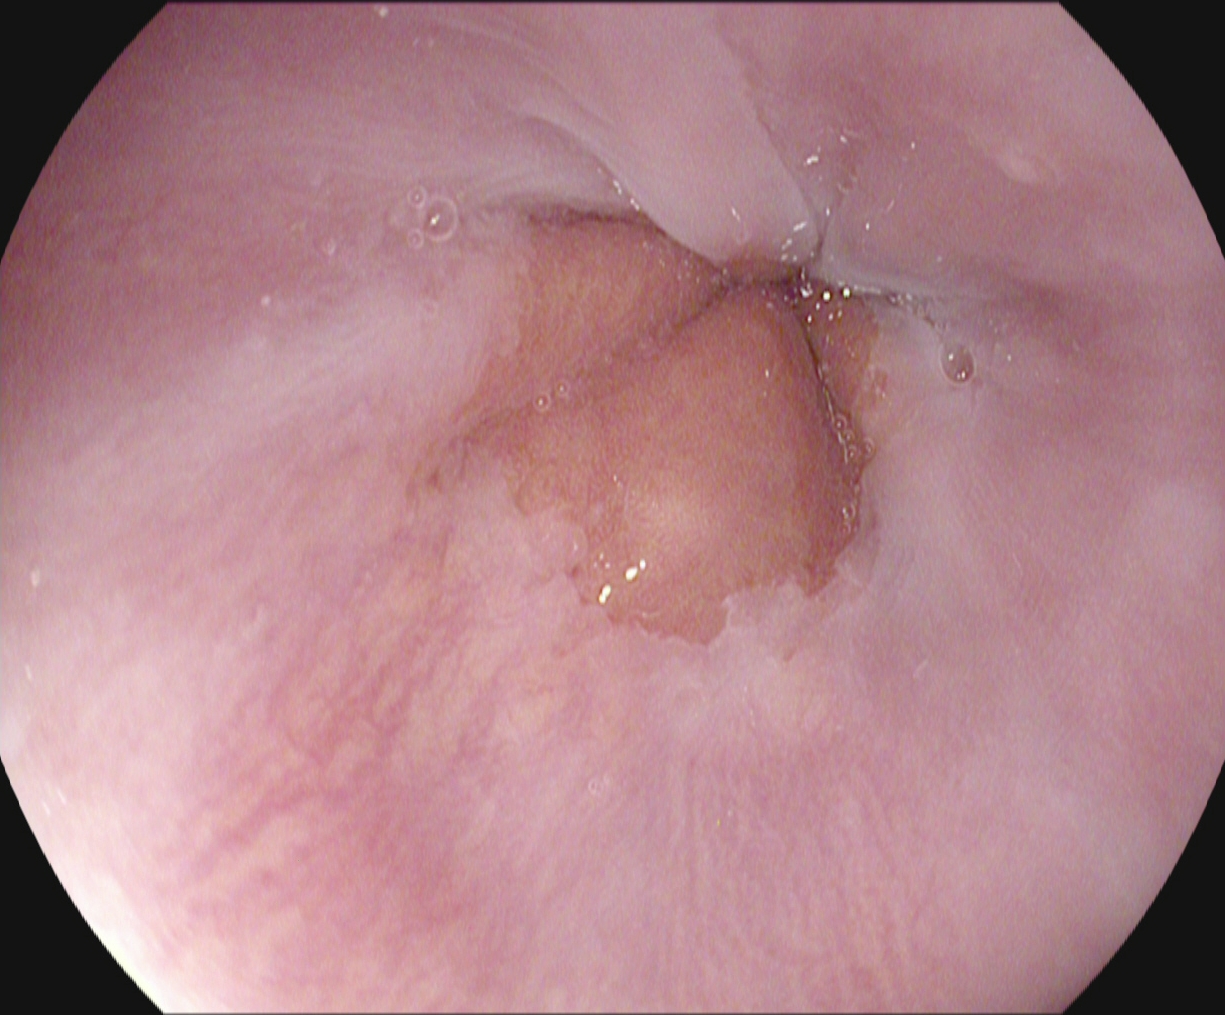{"modality": "upper-GI endoscopy", "tract": "upper GI tract", "category": "anatomical landmark", "finding": "Z-line (gastroesophageal junction)"}